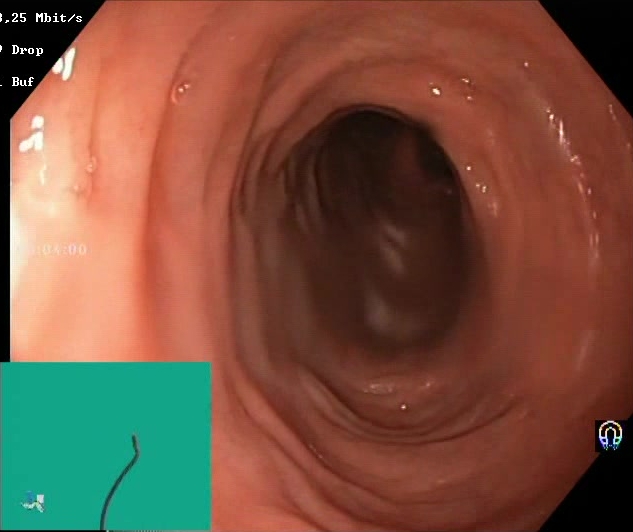Boston Bowel Preparation Scale score 2–3 (adequate preparation).